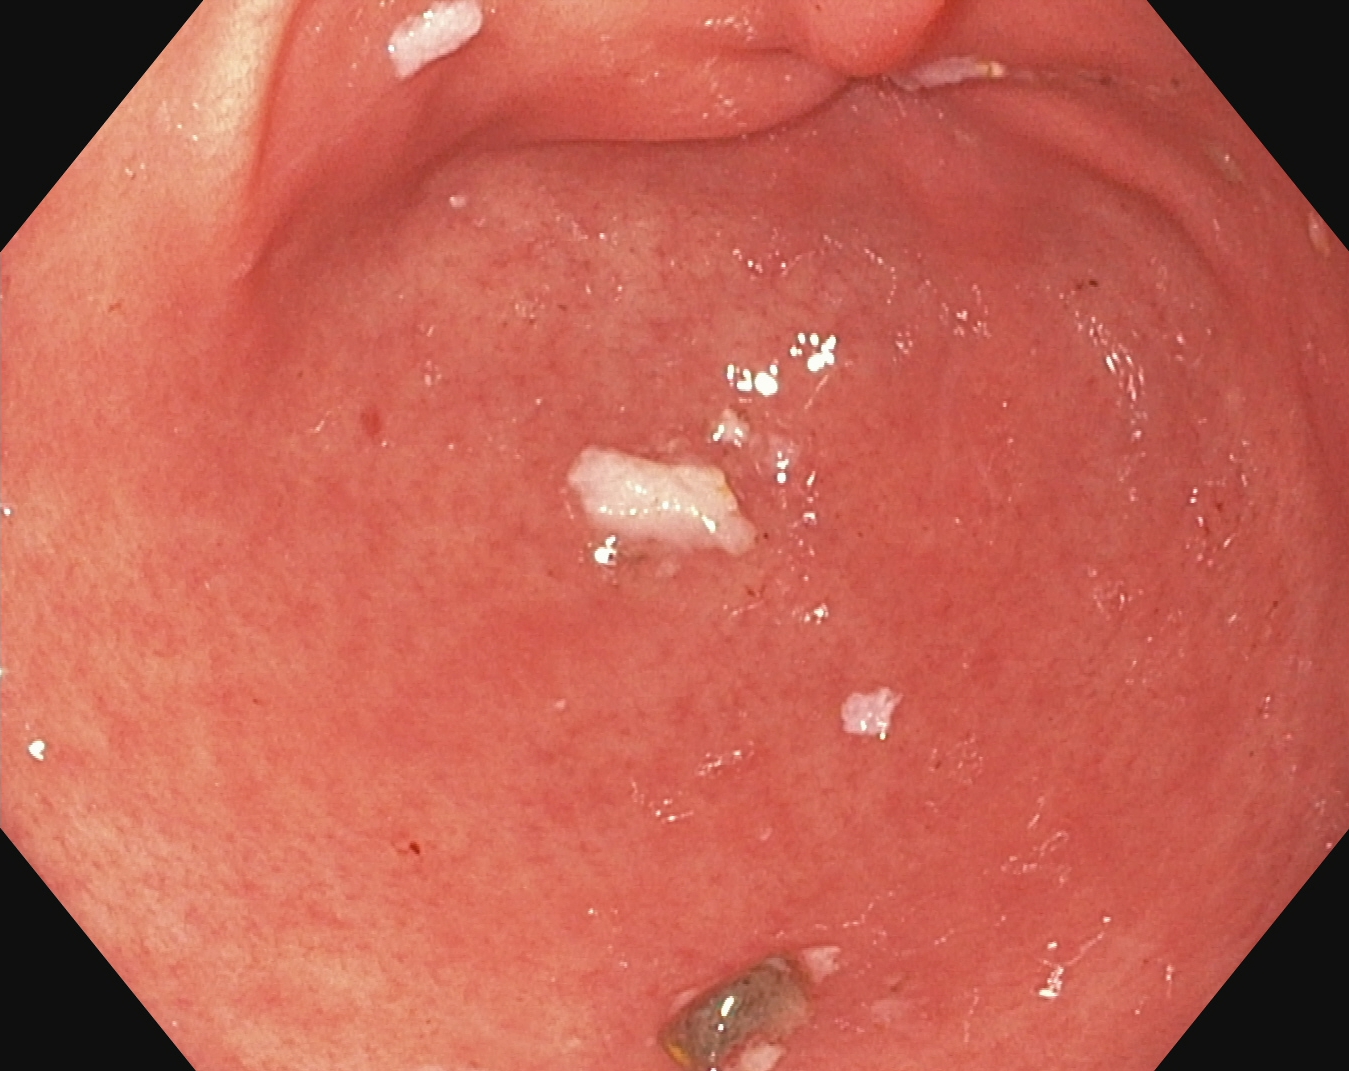modality: upper-GI endoscopy; finding: pylorus